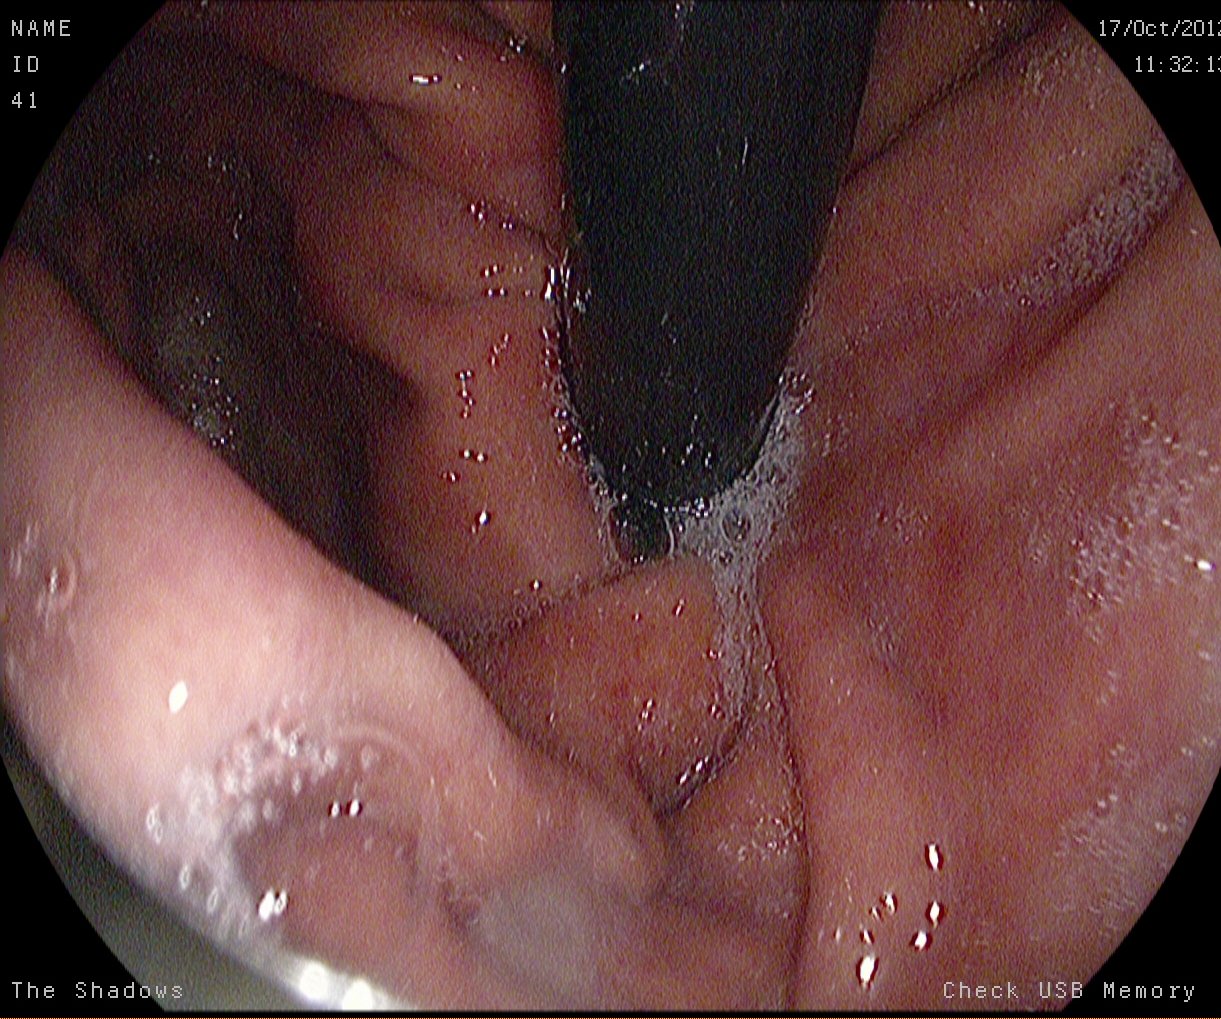{"modality": "gastroscopy", "tract": "upper GI tract", "finding": "stomach in retroflexion"}